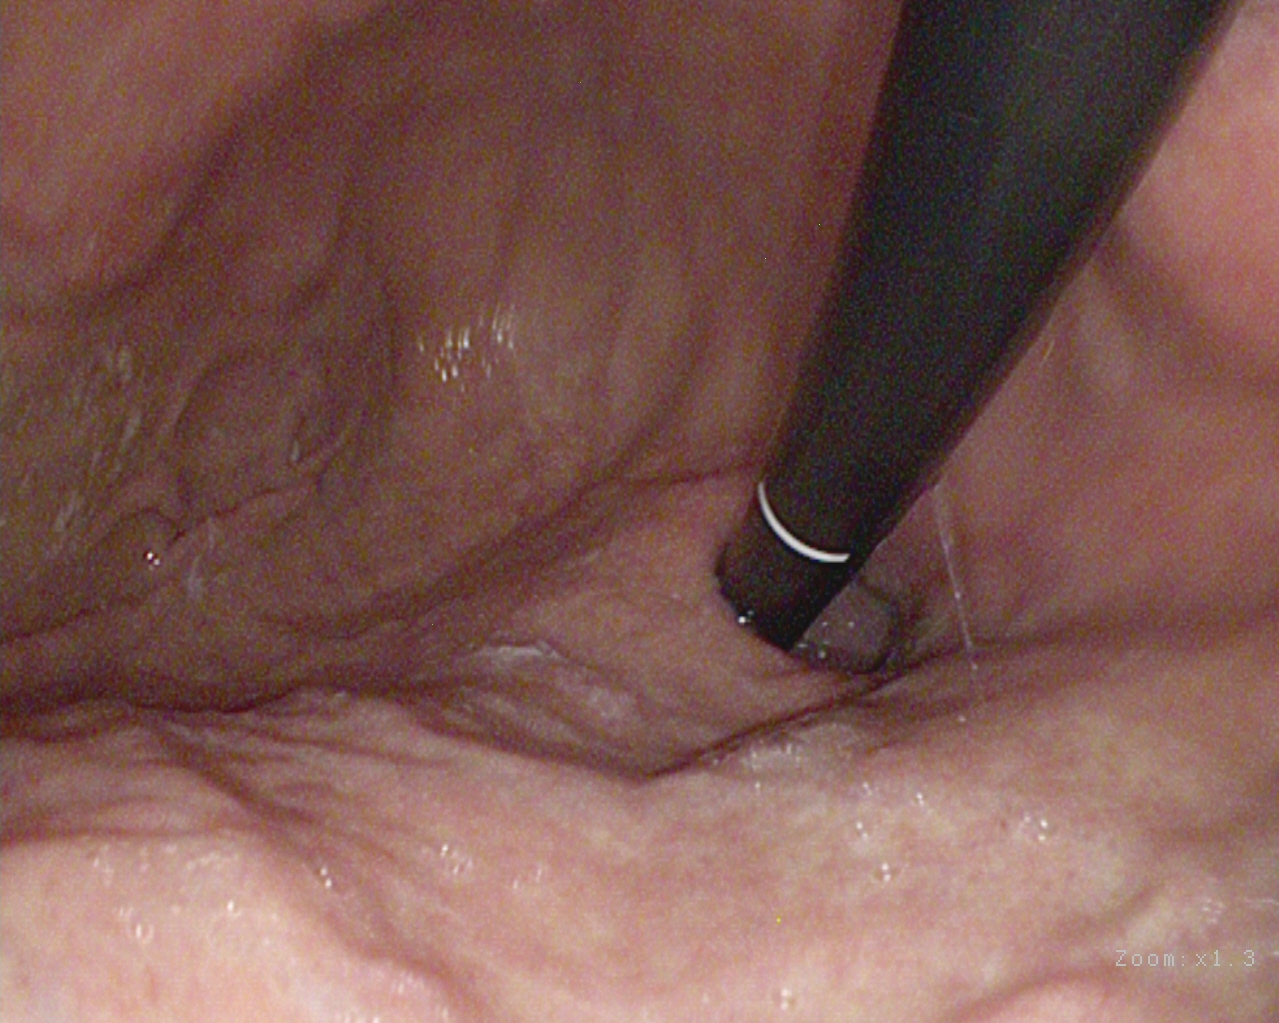{"modality": "gastroscopy", "finding": "stomach in retroflexion"}